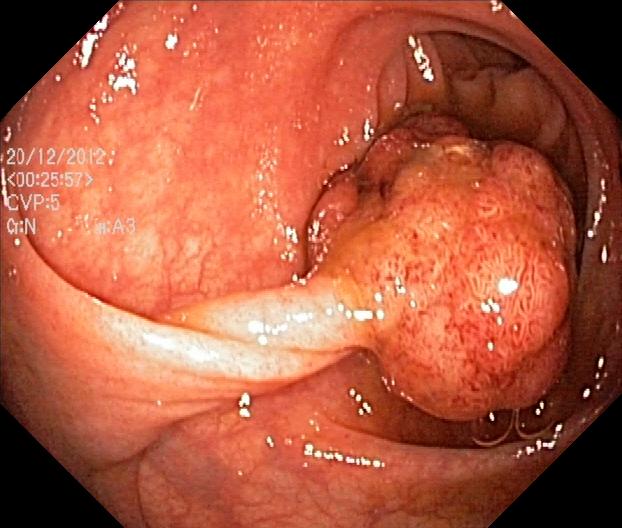Colorectal polyp(s).